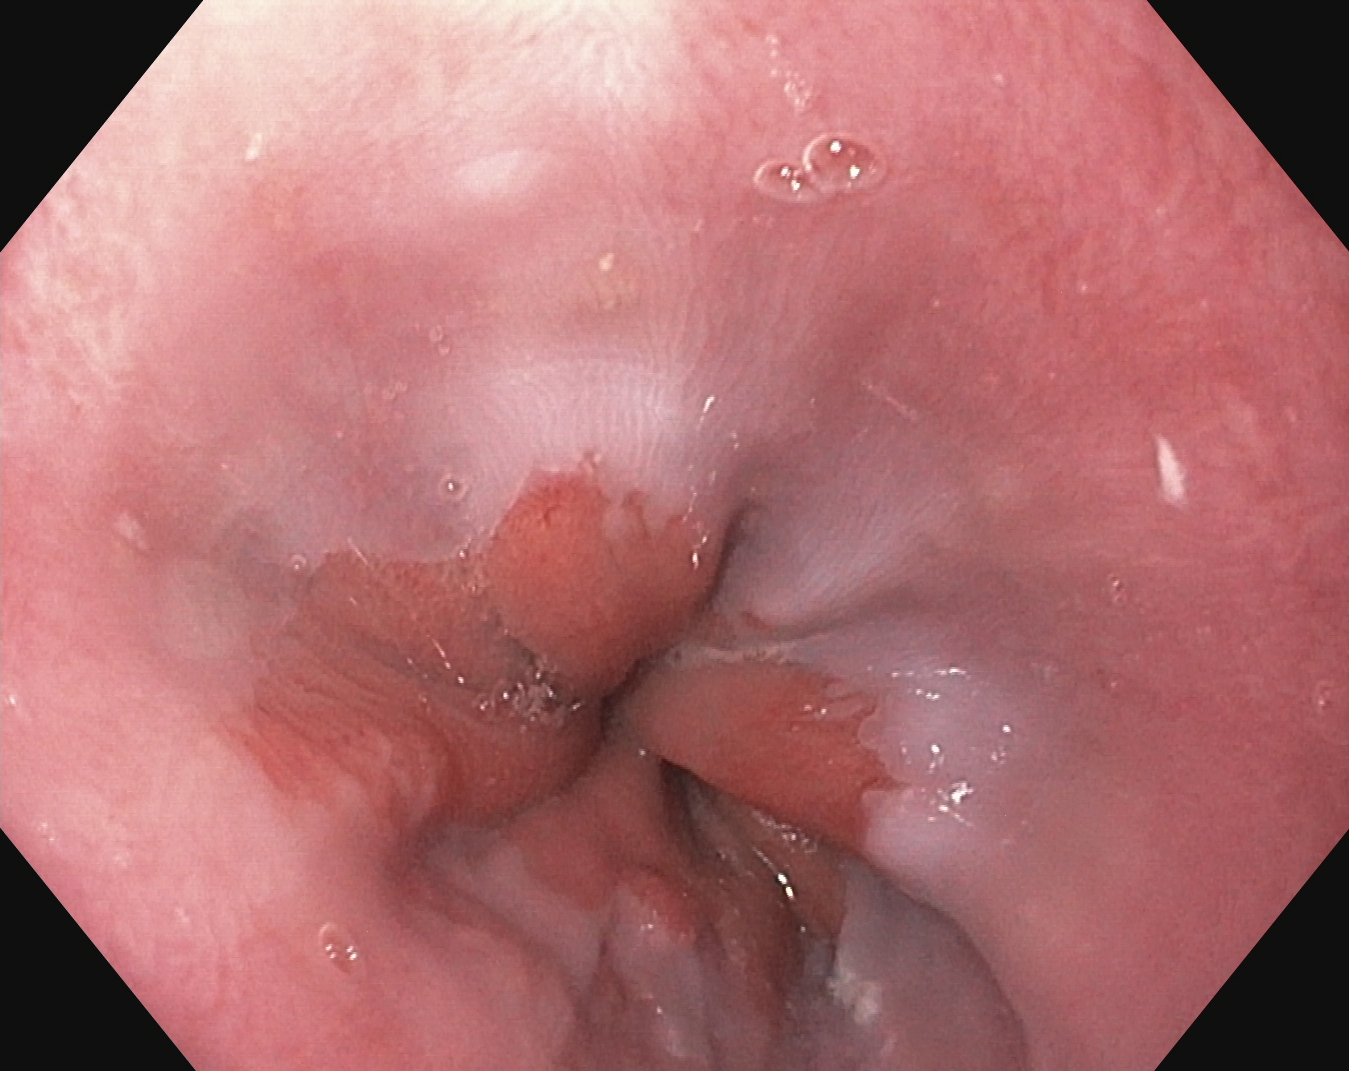{"modality": "upper-GI endoscopy", "tract": "upper GI tract", "finding": "Z-line (gastroesophageal junction)"}